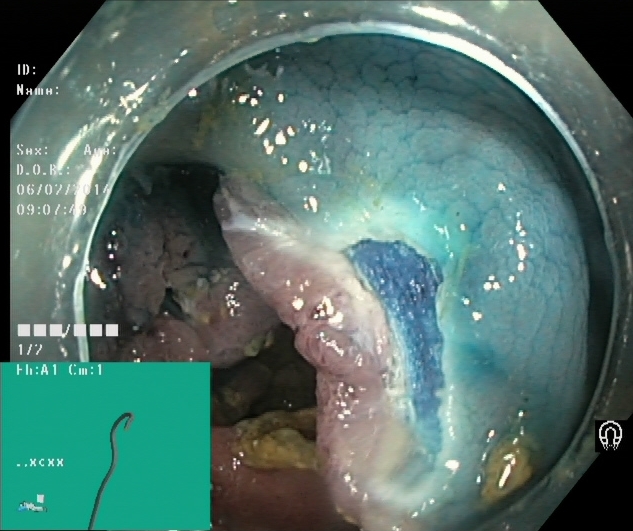This endoscopy frame of the lower GI tract shows dyed resection margins (post-polypectomy).